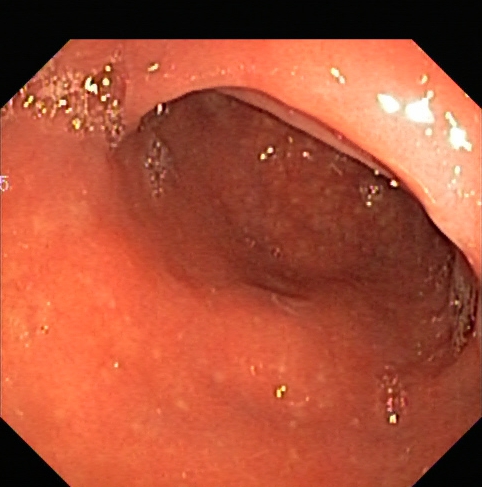Colonoscopy — UC, Mayo endoscopic subscore 1.